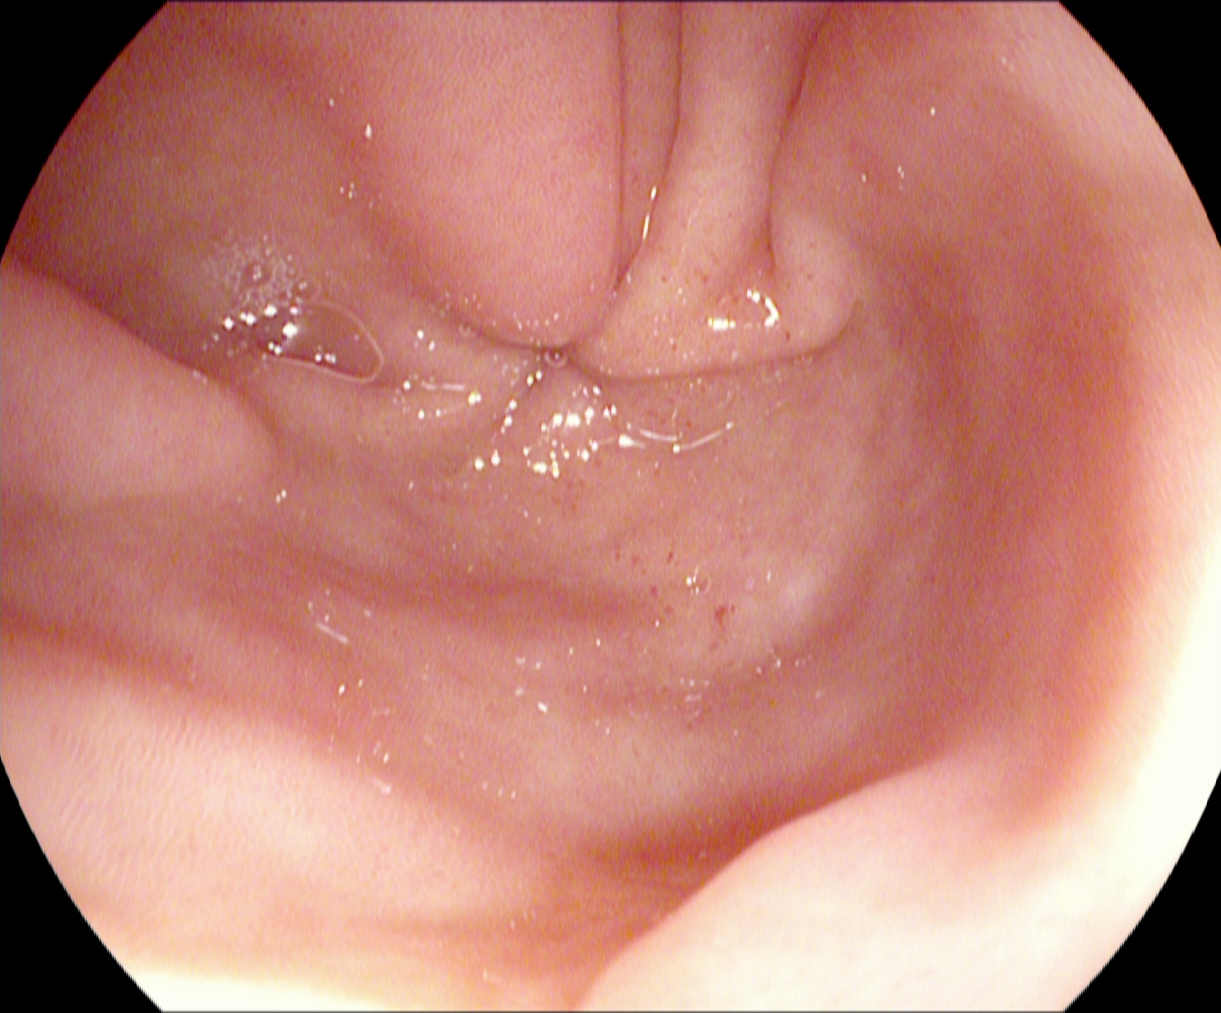Upper-GI endoscopy. Finding: pylorus.